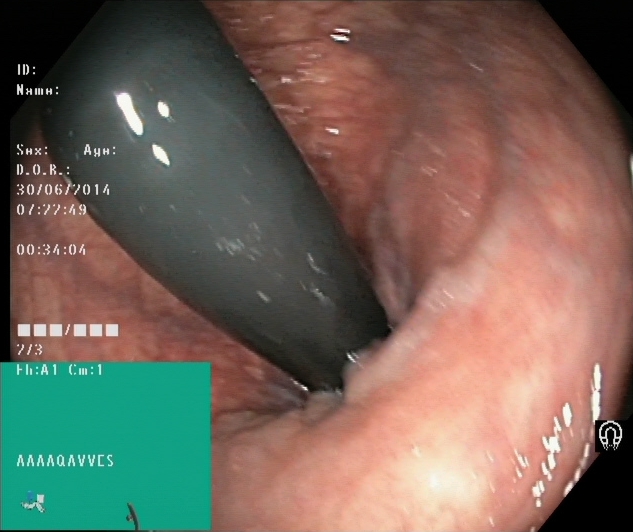Lower gastrointestinal endoscopy. Tract: lower GI tract. Anatomical landmark. Finding: rectum in retroflexion.